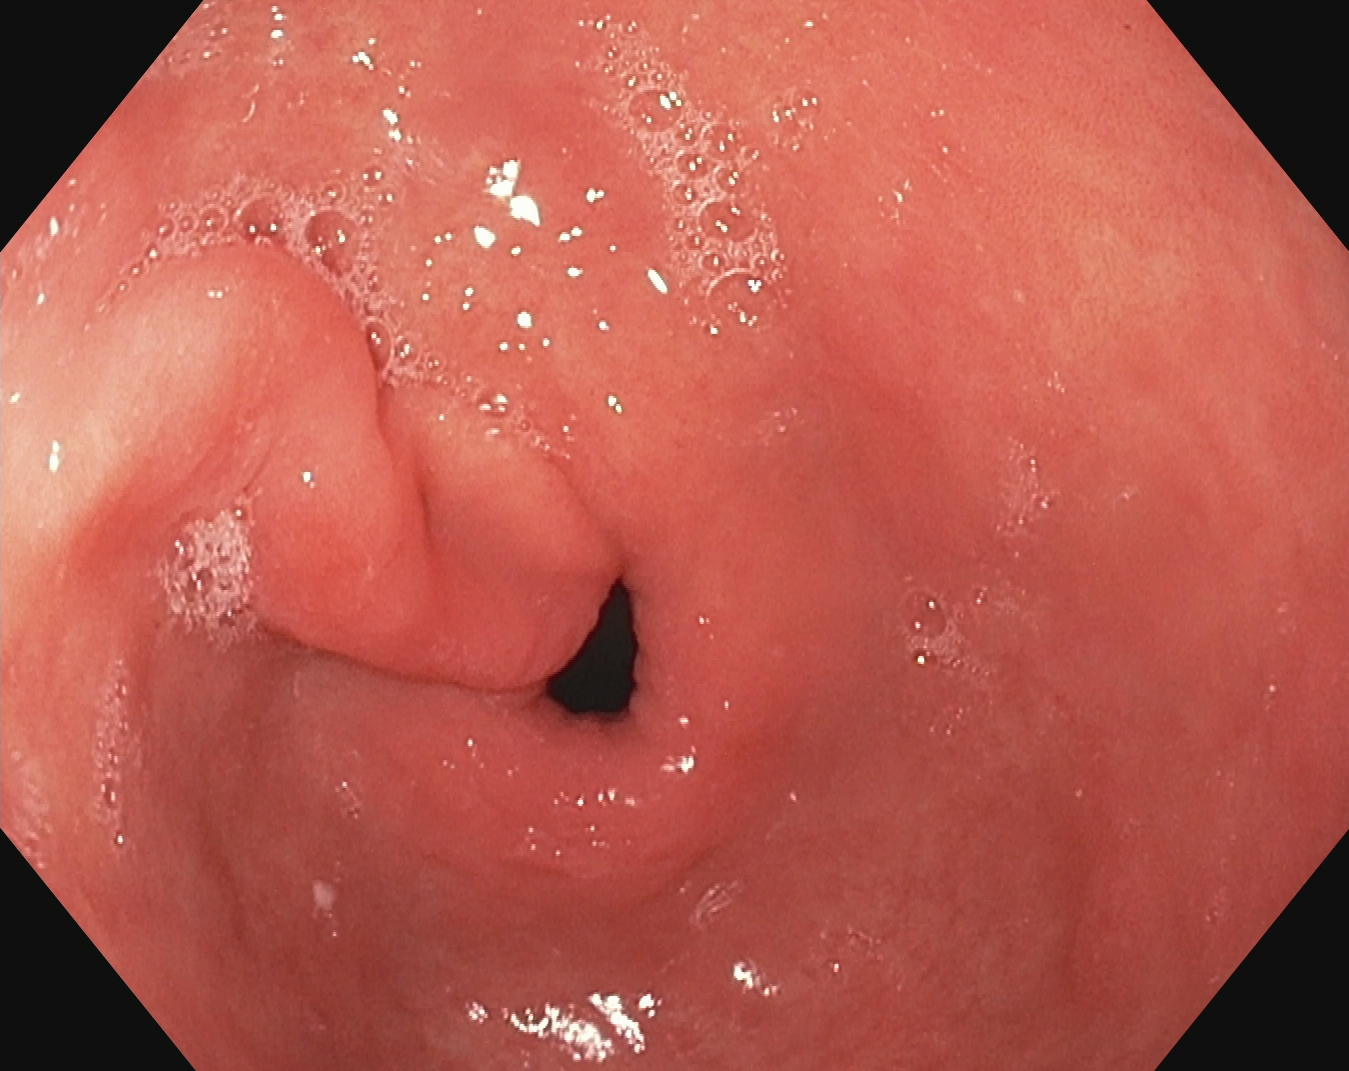Gastroscopy — pylorus.